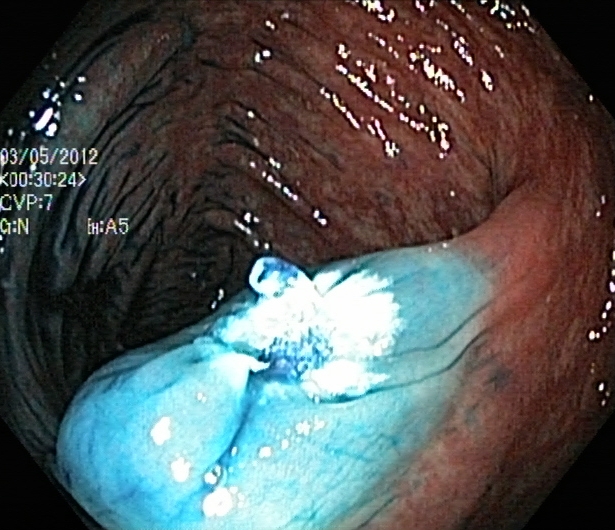modality: lower gastrointestinal endoscopy; tract: lower GI tract; category: therapeutic intervention; finding: dyed resection margins (post-polypectomy)